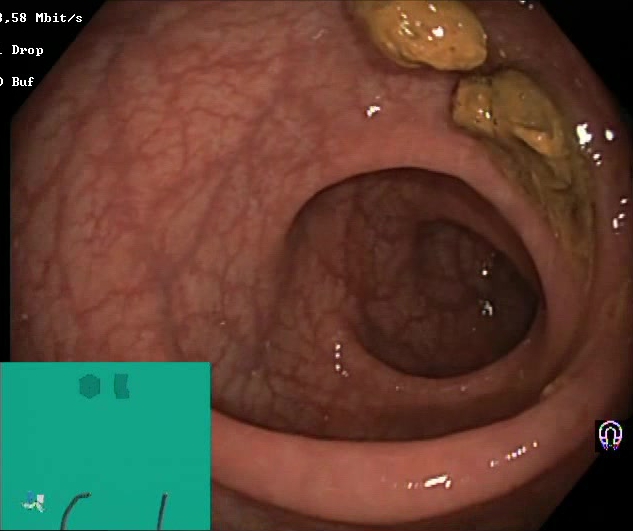Impacted stool.